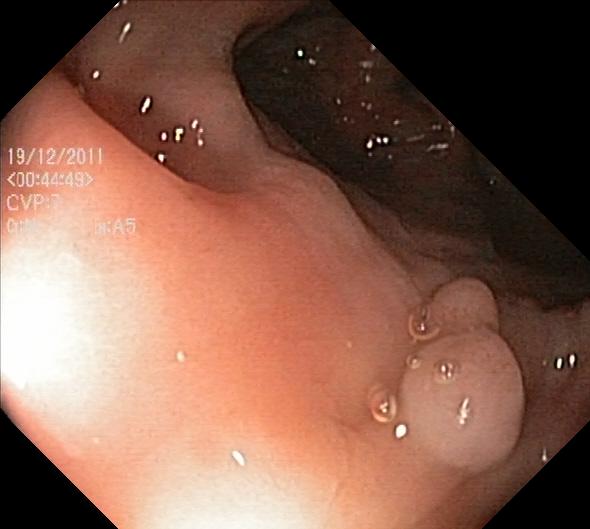PROCEDURE: Colonoscopy.
FINDINGS: Colorectal polyp(s).